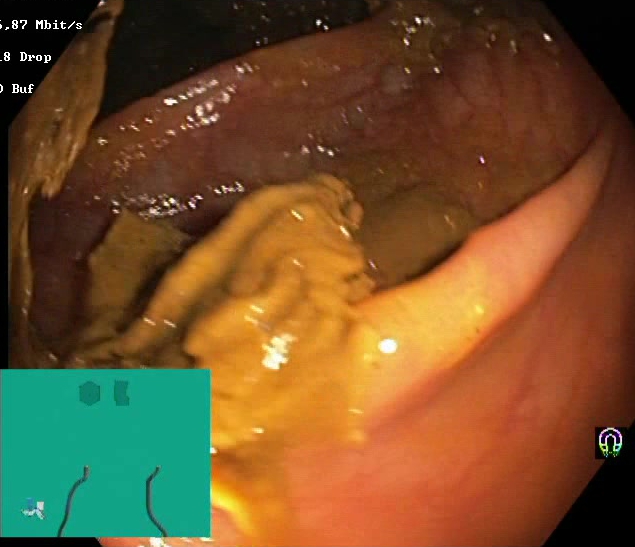BBPS score 0–1 (inadequate preparation).